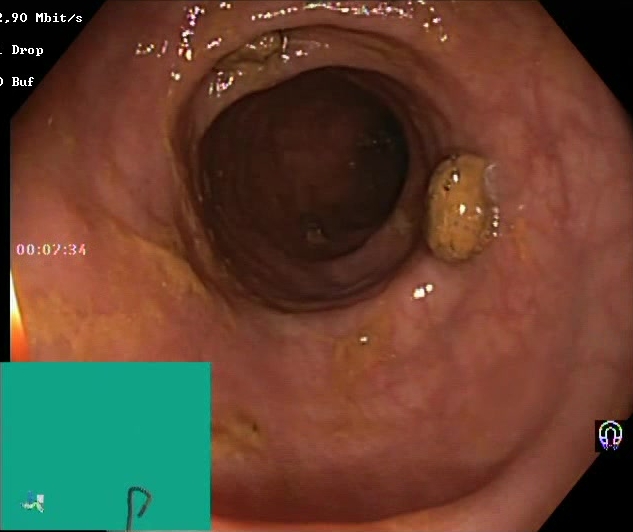This endoscopy frame of the lower GI tract shows Boston Bowel Preparation Scale score 2–3 (adequate preparation).